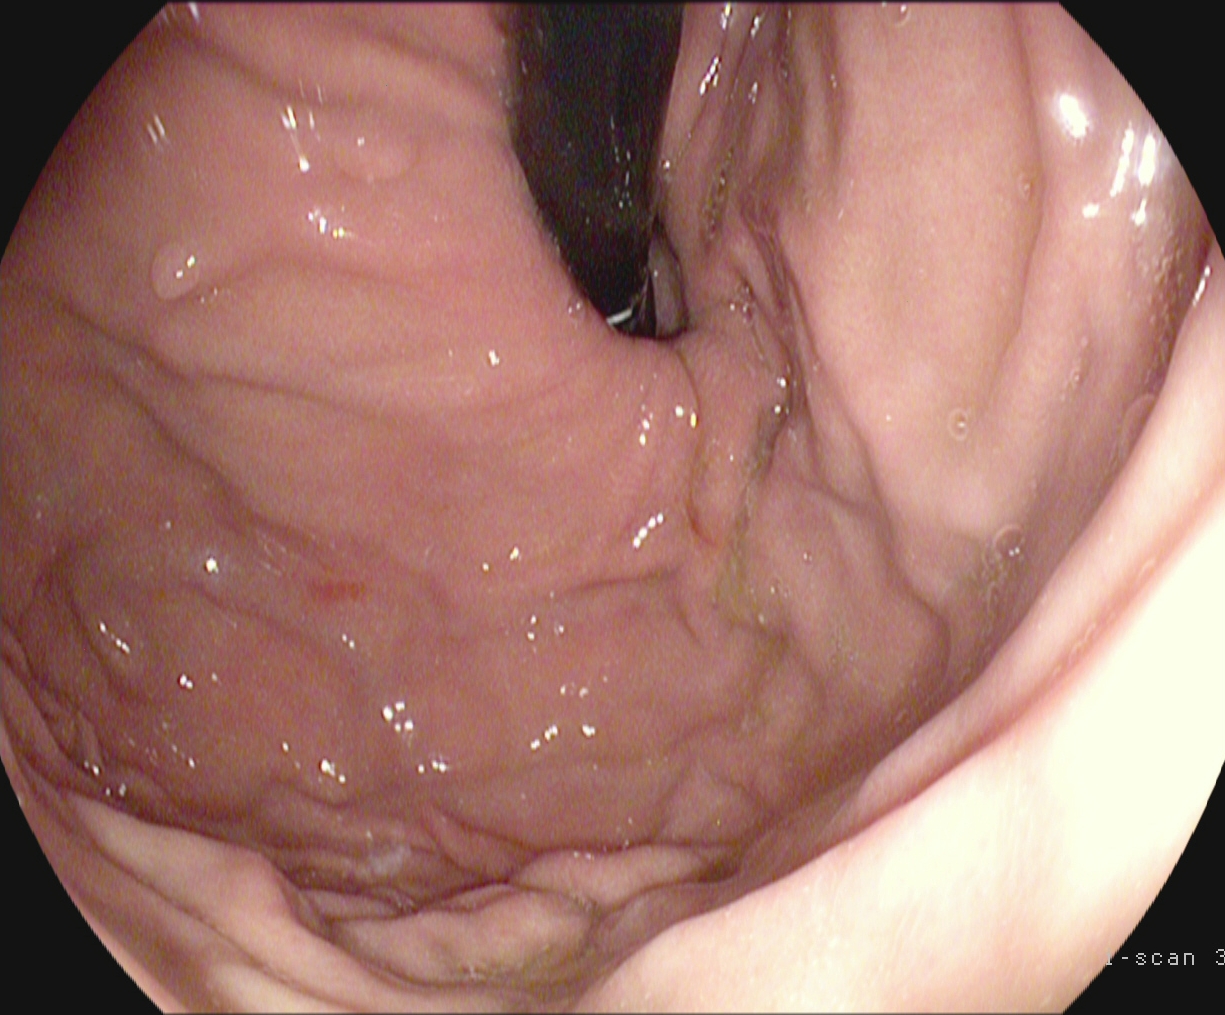EGD — stomach in retroflexion.